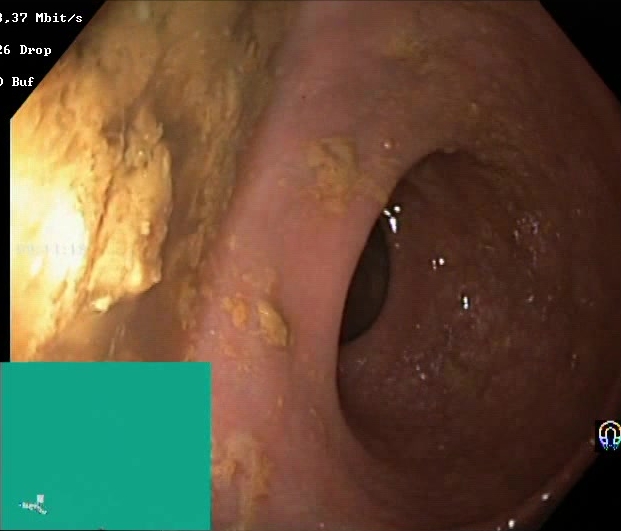{"modality": "lower-GI endoscopy", "tract": "lower GI tract", "finding": "BBPS score 0\u20131 (inadequate preparation)"}